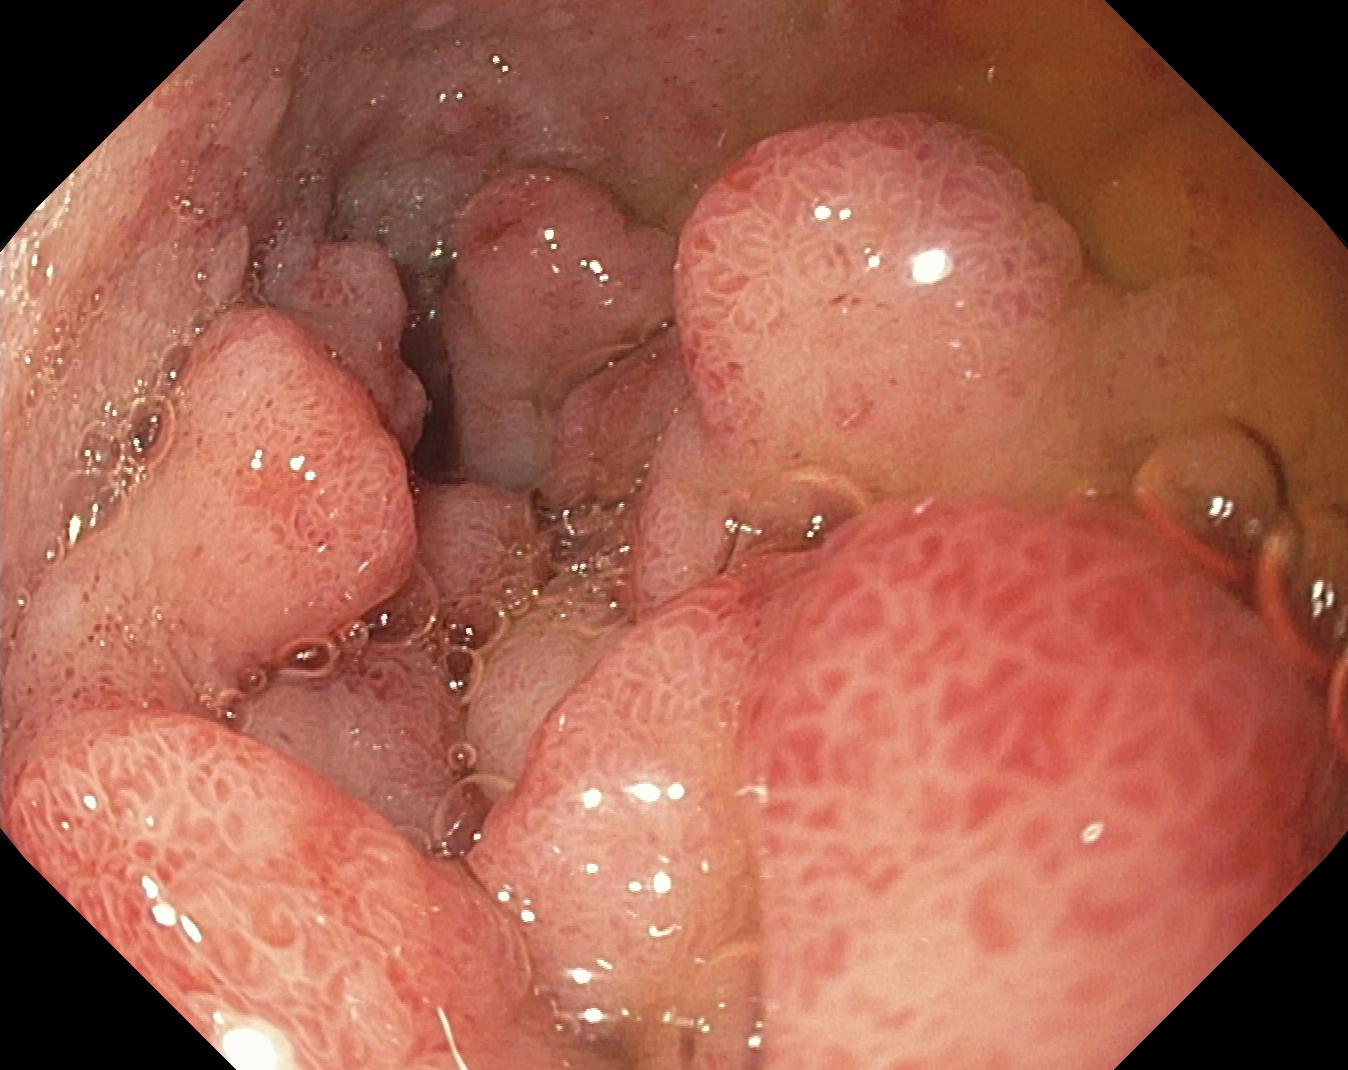Colorectal polyp(s).